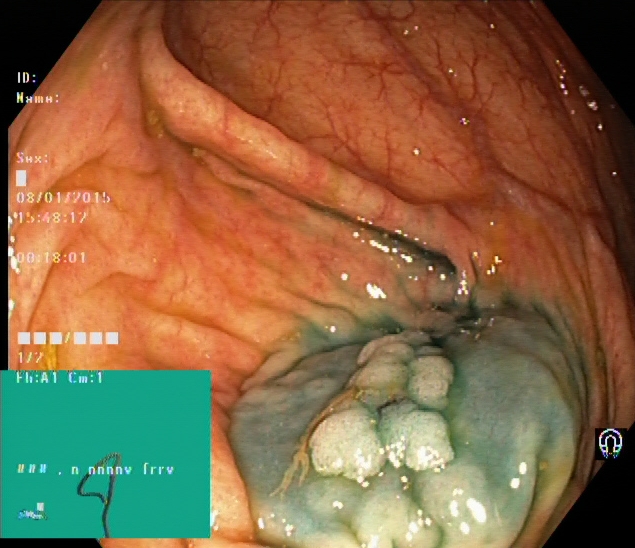{"modality": "lower gastrointestinal endoscopy", "finding": "dyed and lifted polyp (pre-resection)"}